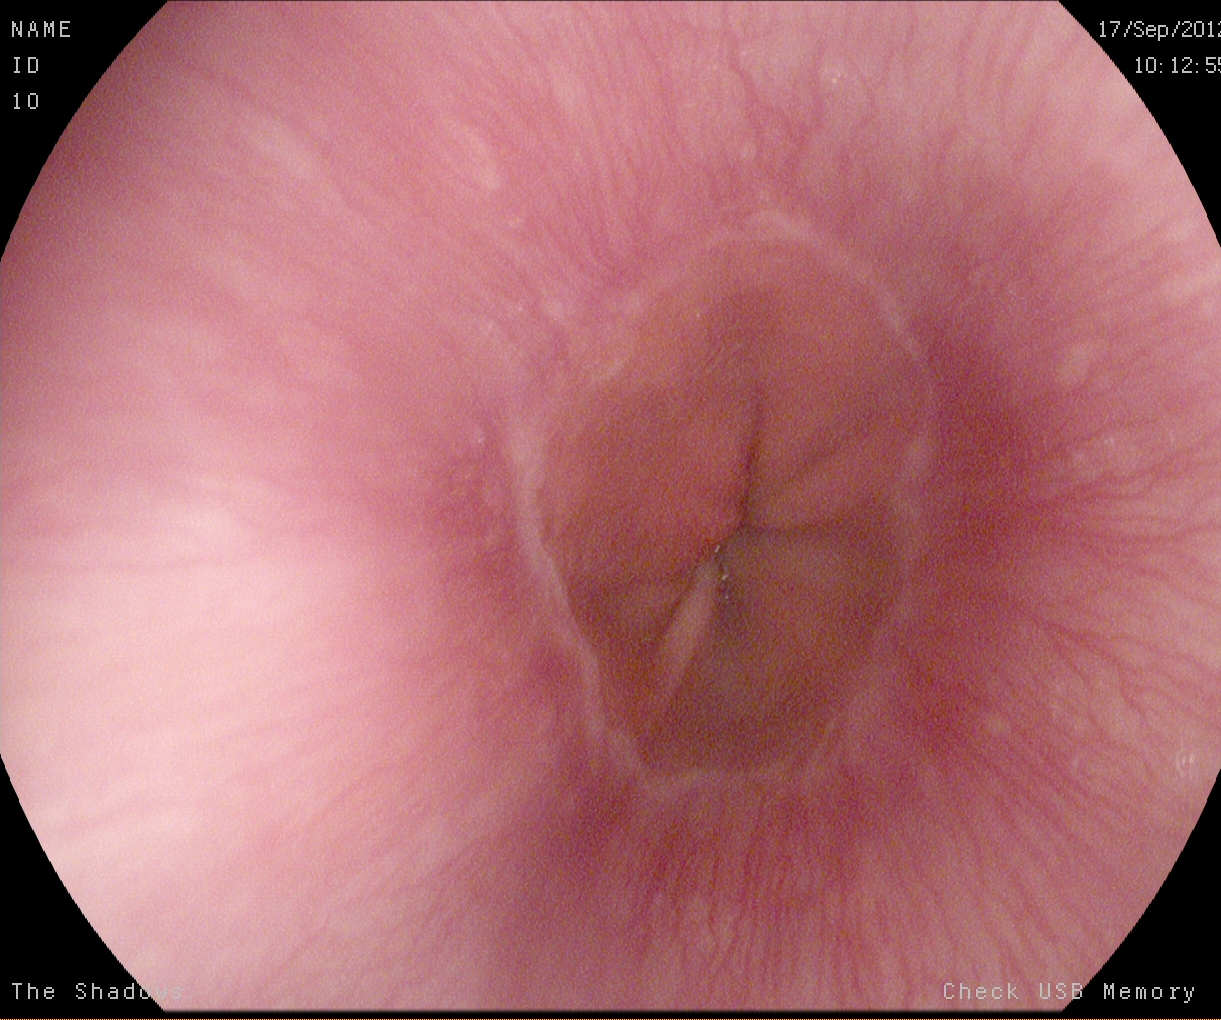Z-line (gastroesophageal junction).